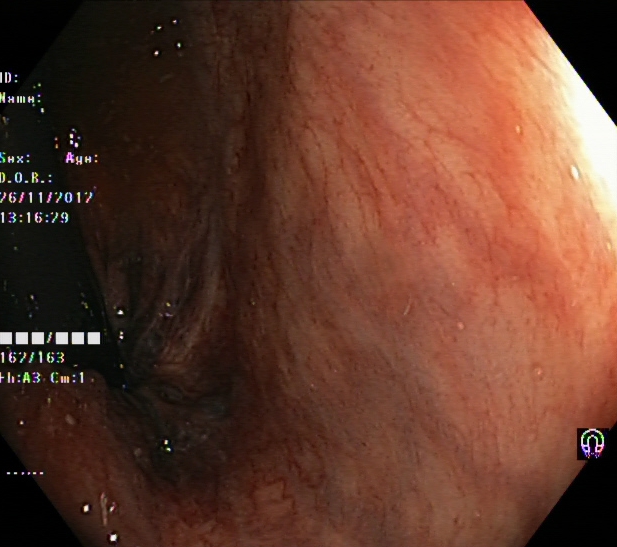{"modality": "lower gastrointestinal endoscopy", "category": "anatomical landmark", "finding": "rectum in retroflexion"}